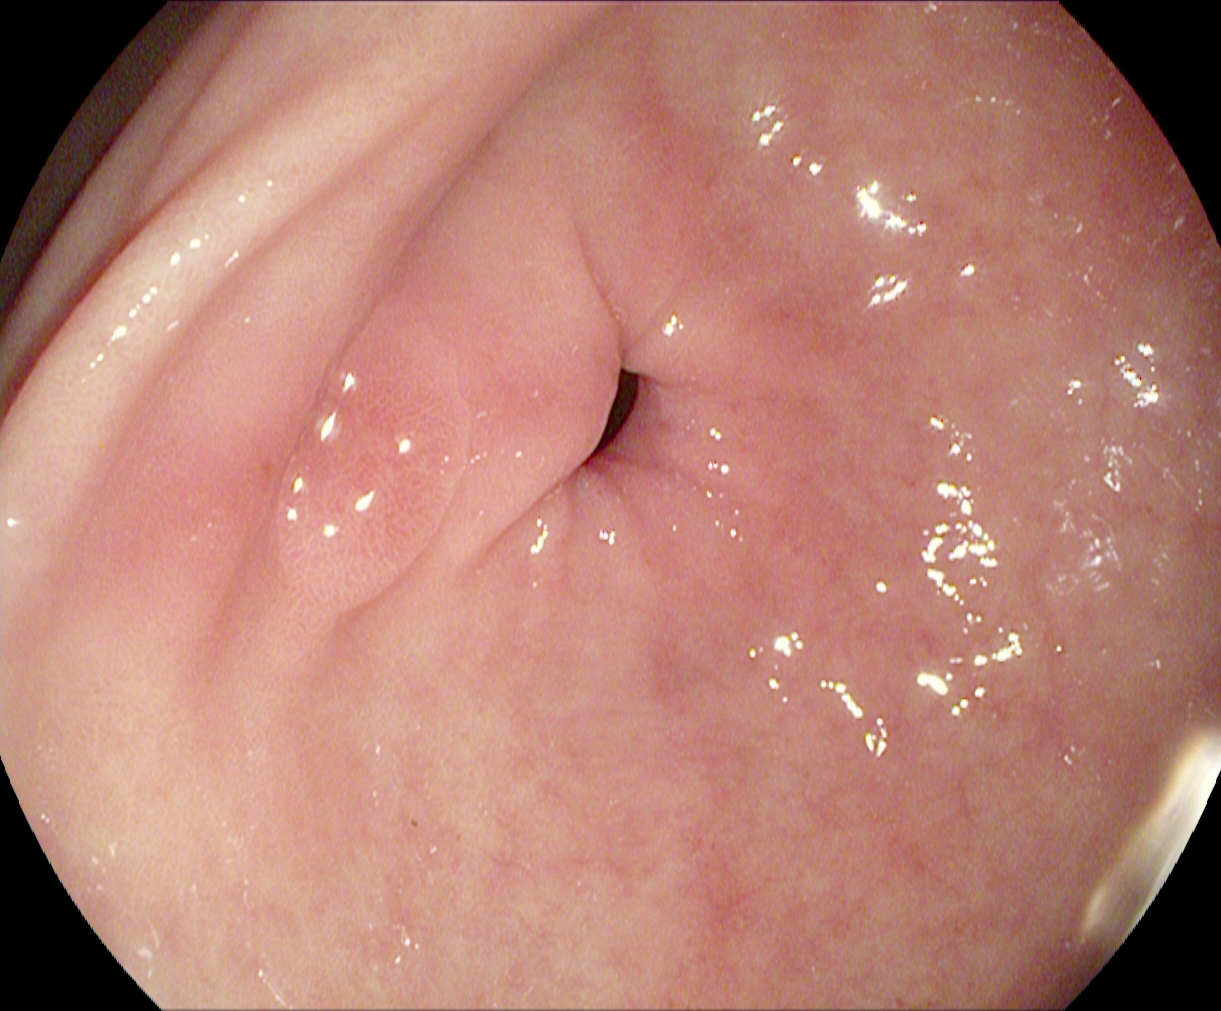PROCEDURE: Gastroscopy.
FINDINGS: Pylorus.